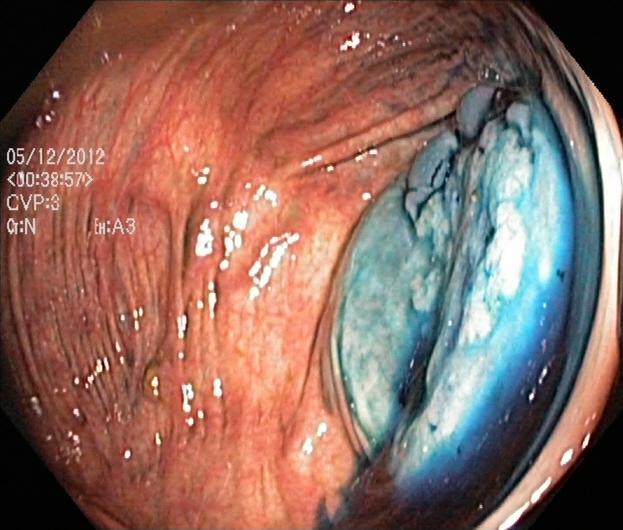PROCEDURE: Colonoscopy.
FINDINGS: Dyed and lifted polyp (pre-resection).